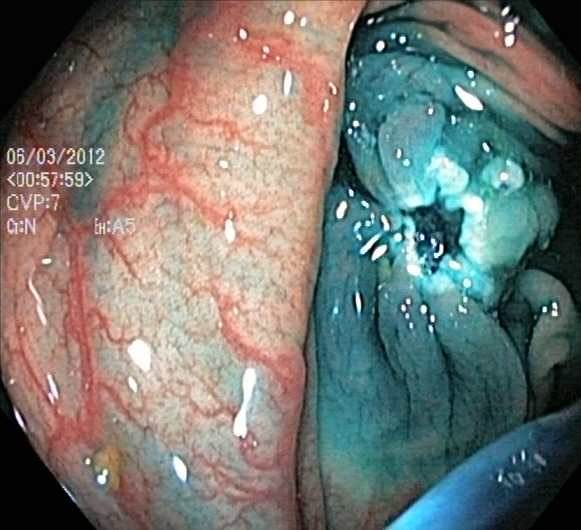Colonoscopy — dyed resection margins (post-polypectomy).